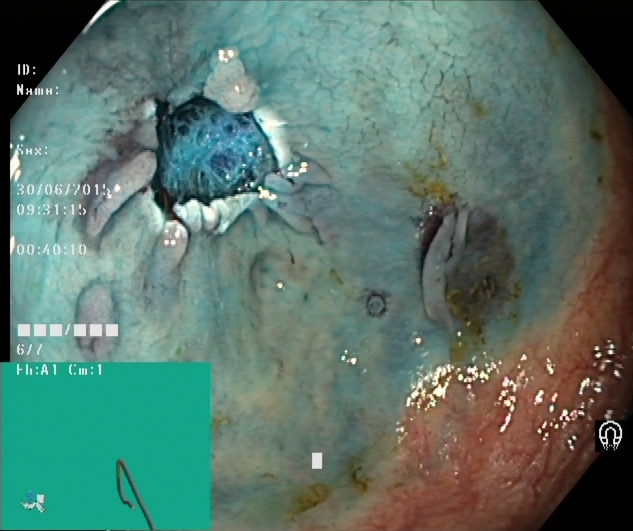This endoscopic image shows dyed resection margins (post-polypectomy).